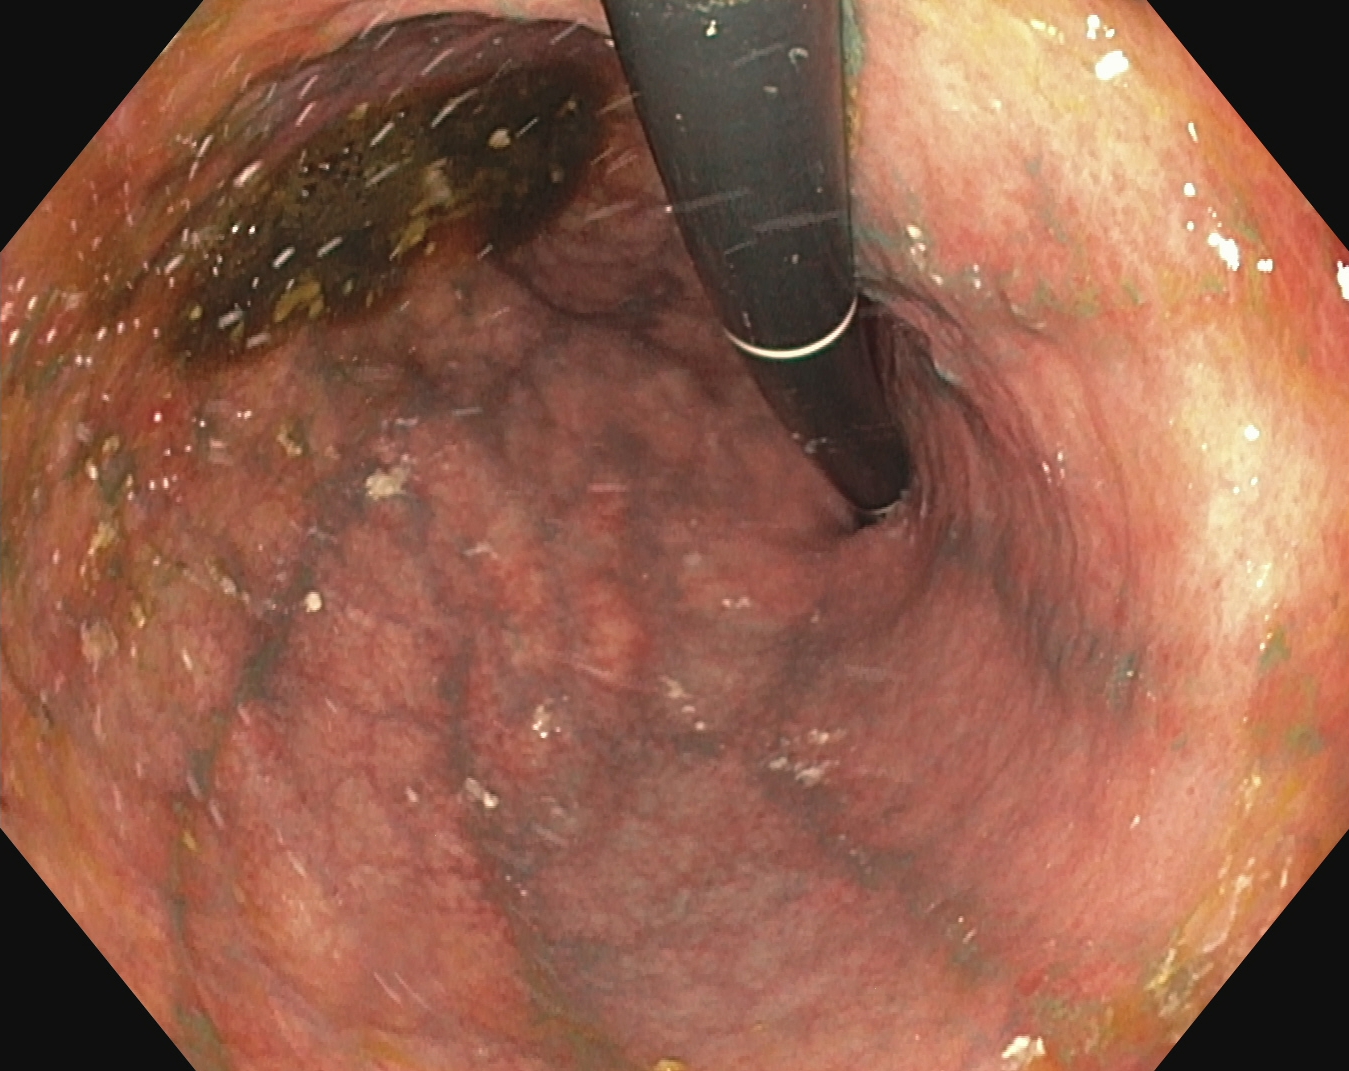Endoscopic frame showing stomach in retroflexion.